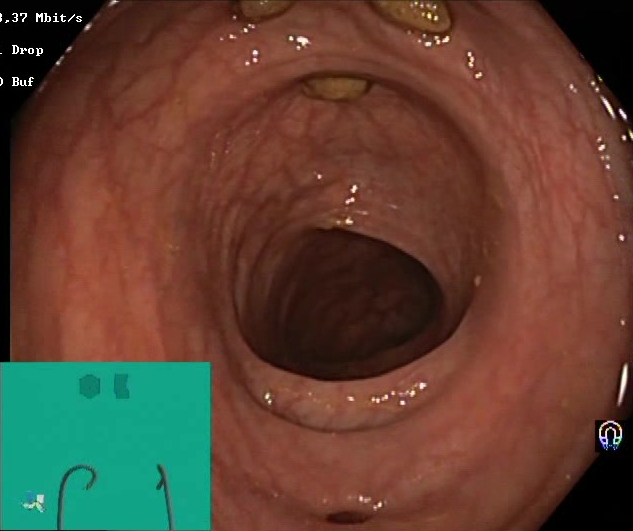{"modality": "lower gastrointestinal endoscopy", "finding": "impacted stool"}